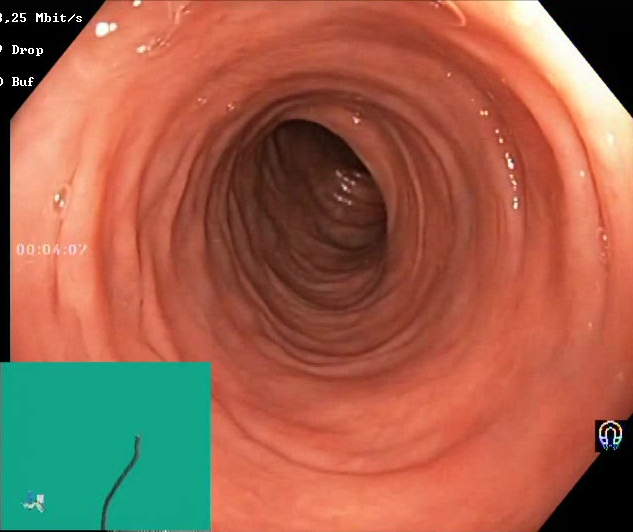BBPS score 2–3 (adequate preparation).